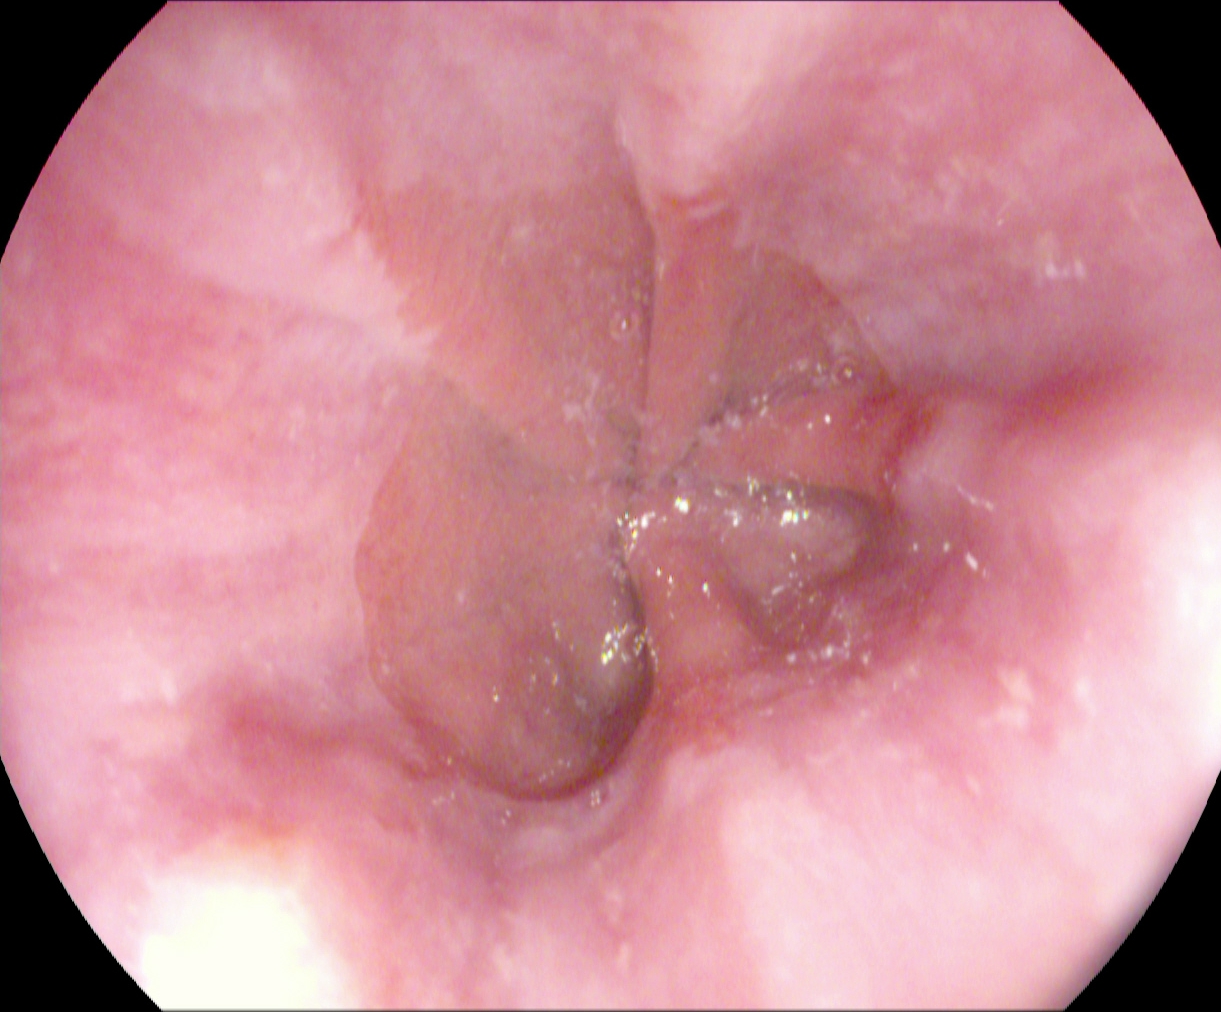Upper-GI endoscopy — Z-line (gastroesophageal junction).